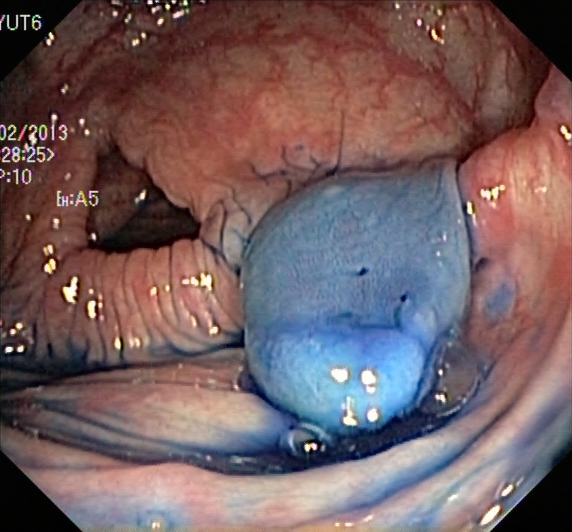Dyed and lifted polyp (pre-resection).